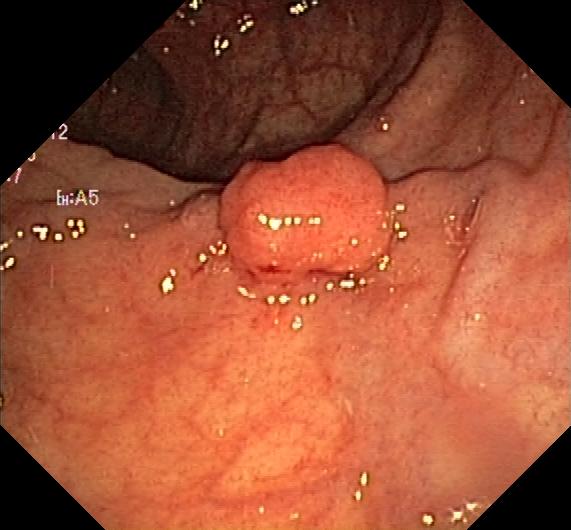modality: colonoscopy
tract: lower GI tract
finding: colorectal polyp(s)